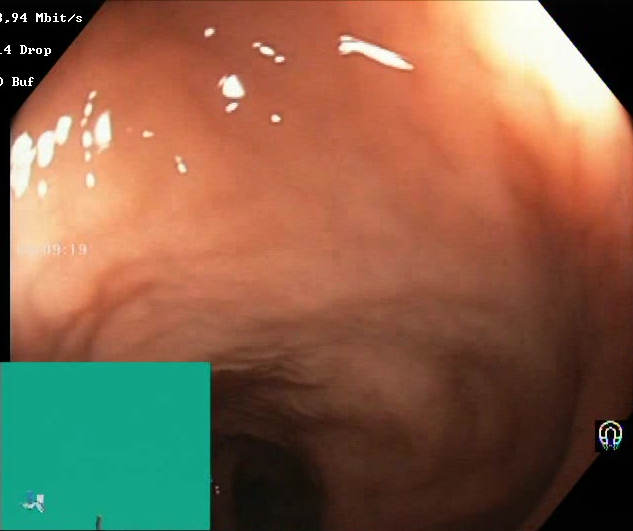Boston Bowel Preparation Scale score 2–3 (adequate preparation).